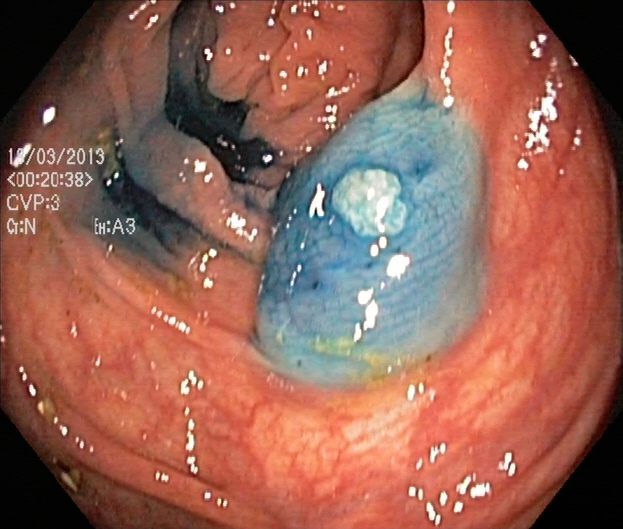dyed and lifted polyp (pre-resection).